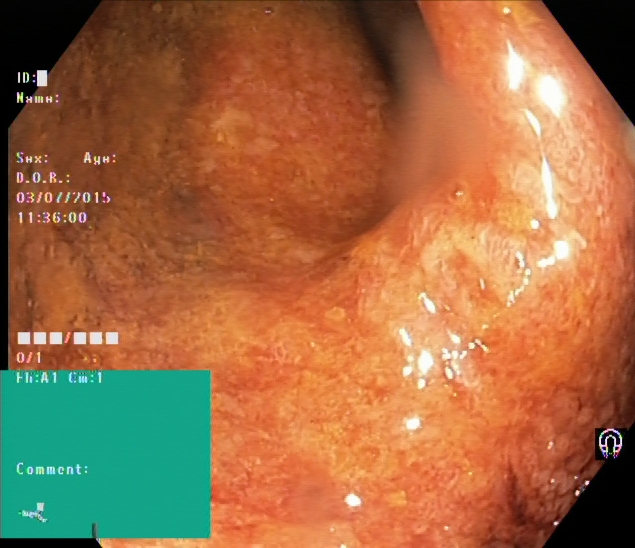{"modality": "lower gastrointestinal endoscopy", "finding": "ulcerative colitis, Mayo endoscopic subscore 1\u20132"}